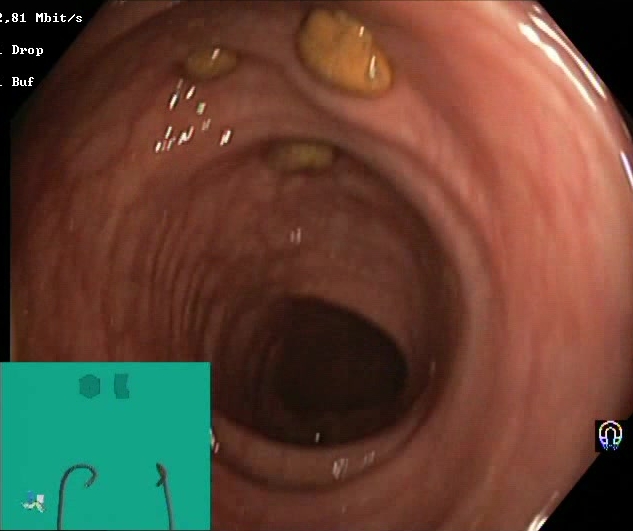Lower-GI endoscopy image showing impacted stool.